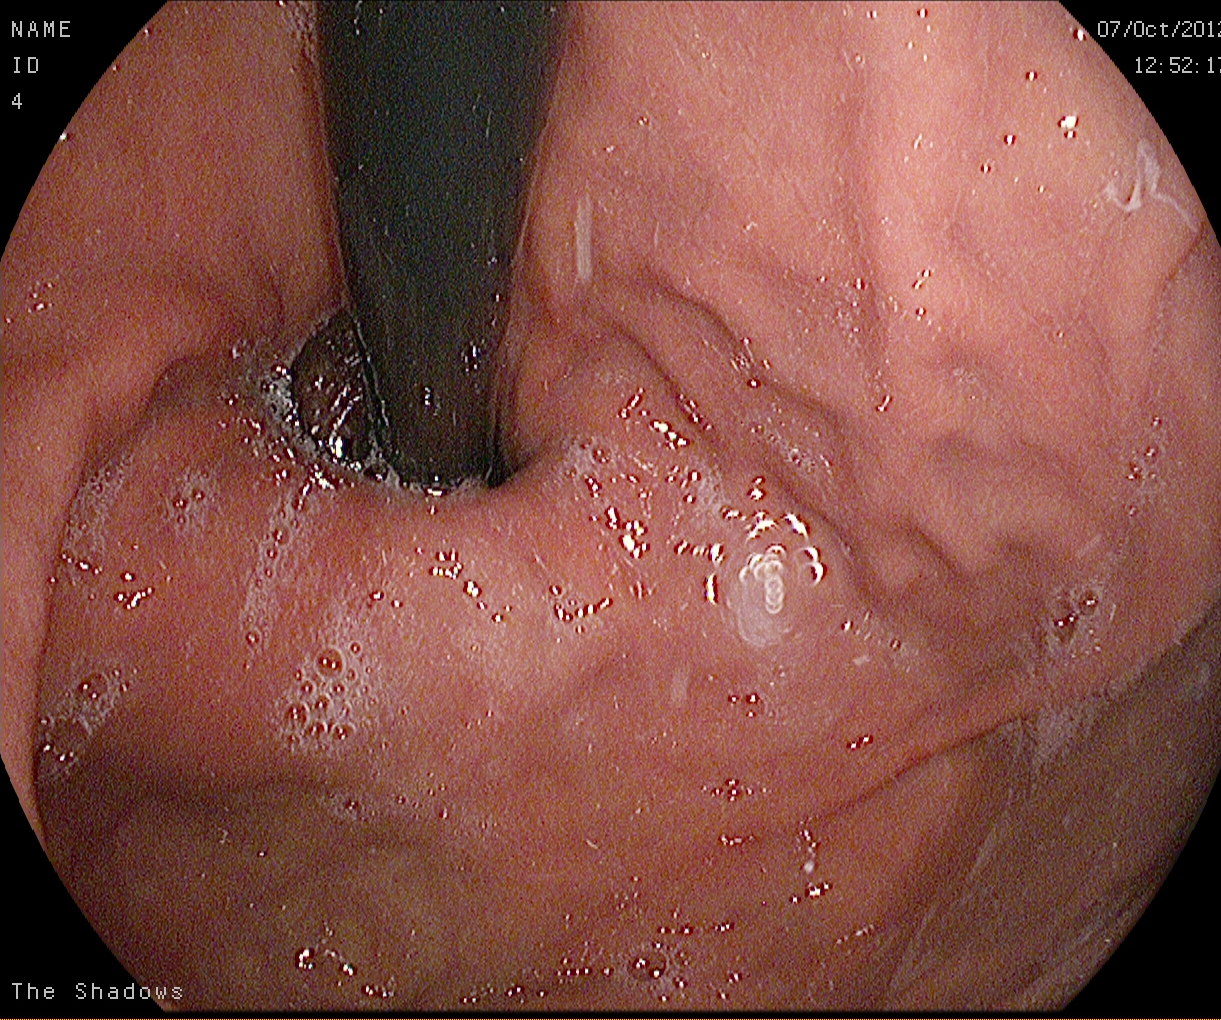modality: gastroscopy
finding: stomach in retroflexion